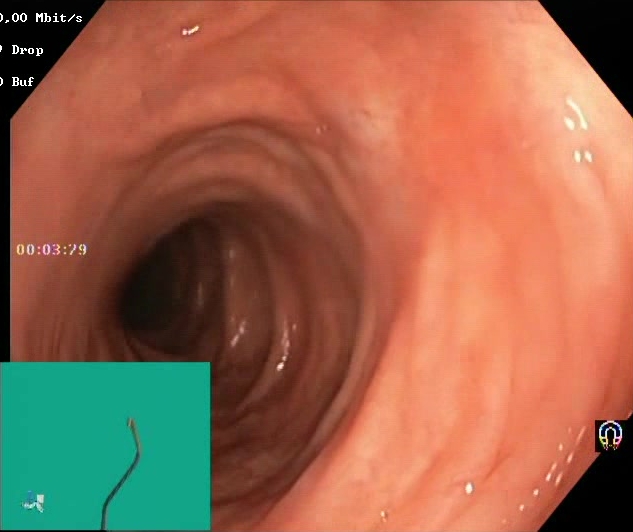Boston Bowel Preparation Scale score 2–3 (adequate preparation).